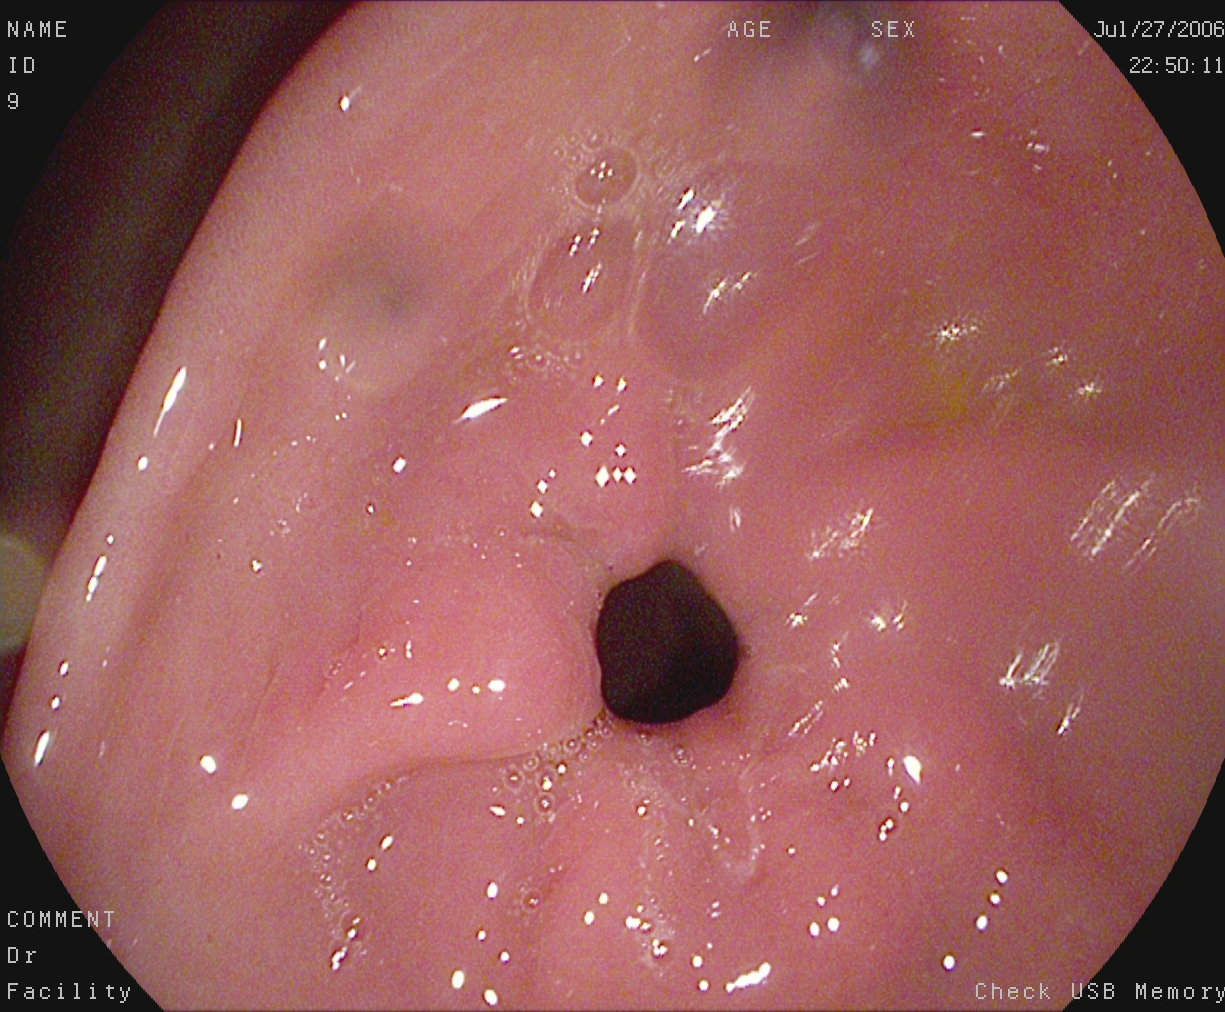pylorus.